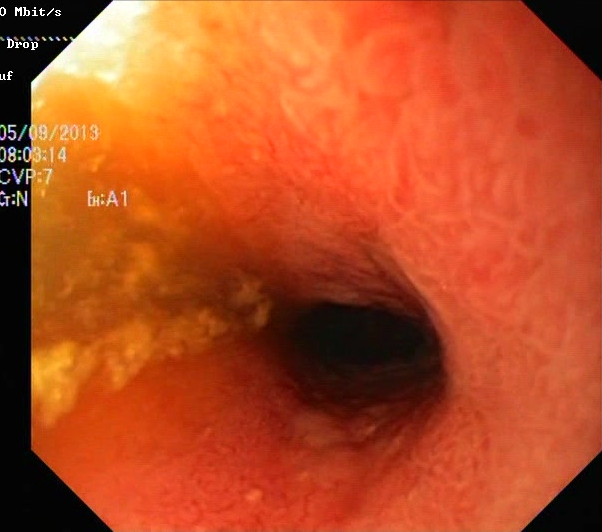Lower gastrointestinal endoscopy. Pathological finding. Finding: ulcerative colitis, Mayo endoscopic subscore 1.